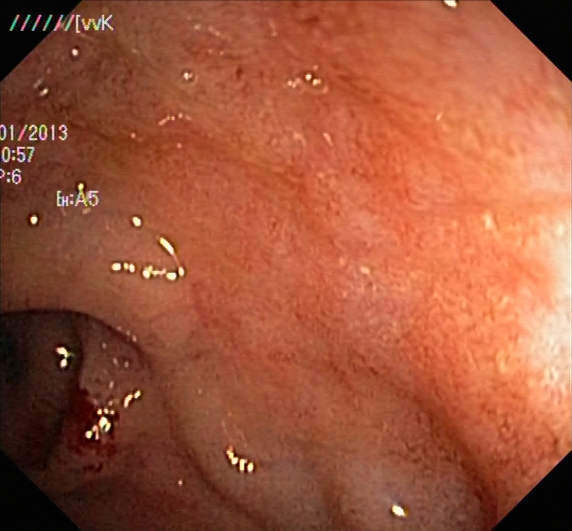This endoscopic image of the lower GI tract shows ulcerative colitis, Mayo endoscopic subscore 2.